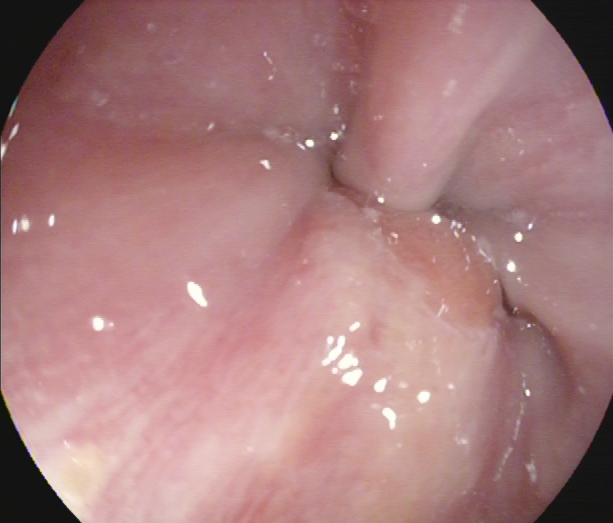PROCEDURE: Esophagogastroduodenoscopy.
FINDINGS: Z-line (gastroesophageal junction).